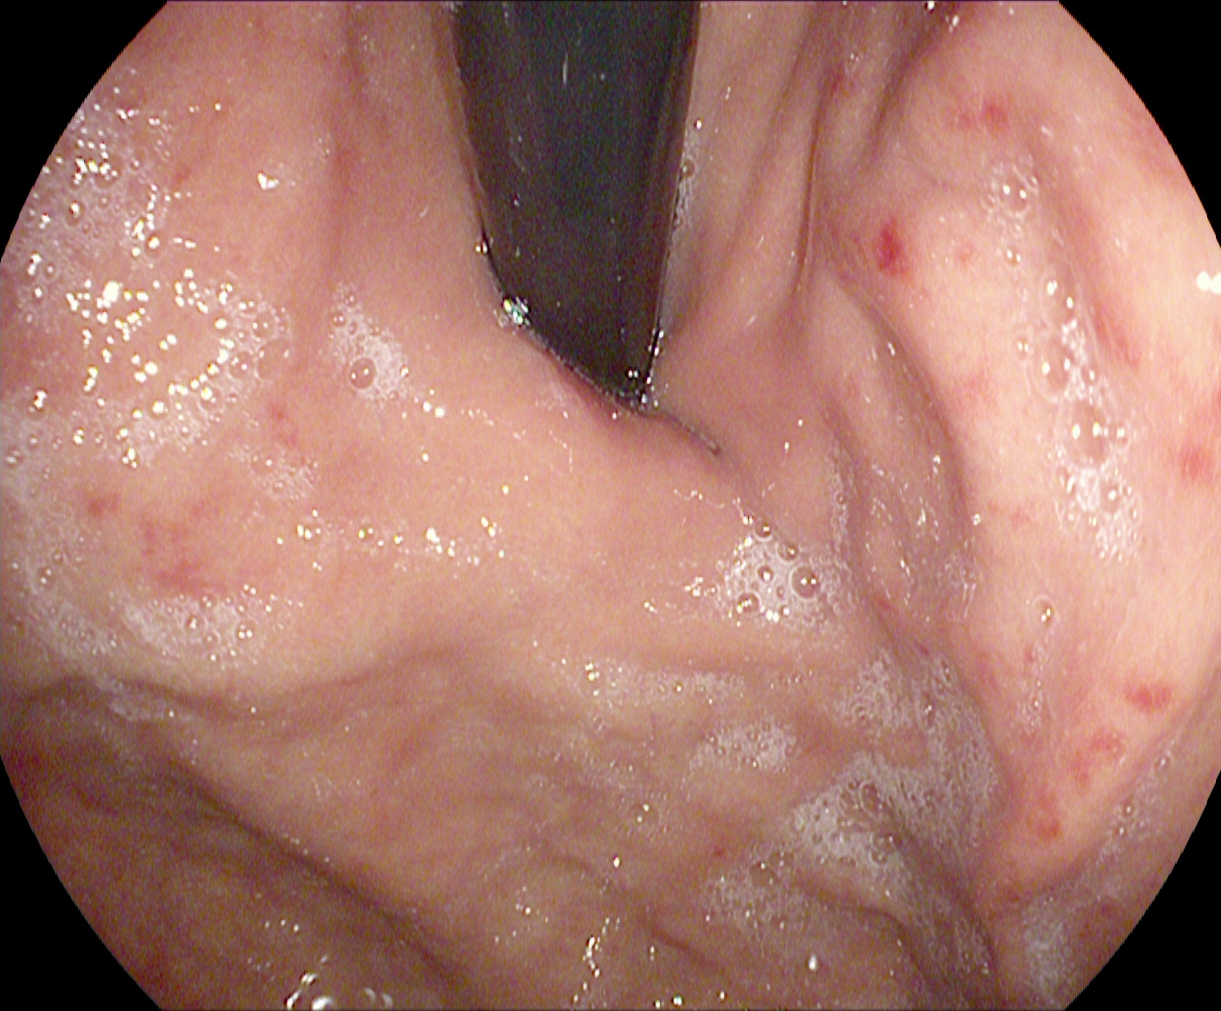Endoscopy image of the upper GI tract showing stomach in retroflexion.